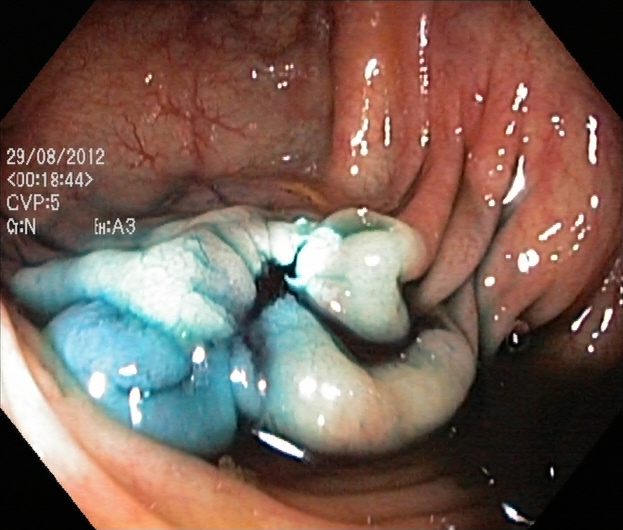PROCEDURE: Lower gastrointestinal endoscopy.
FINDINGS: Dyed resection margins (post-polypectomy).